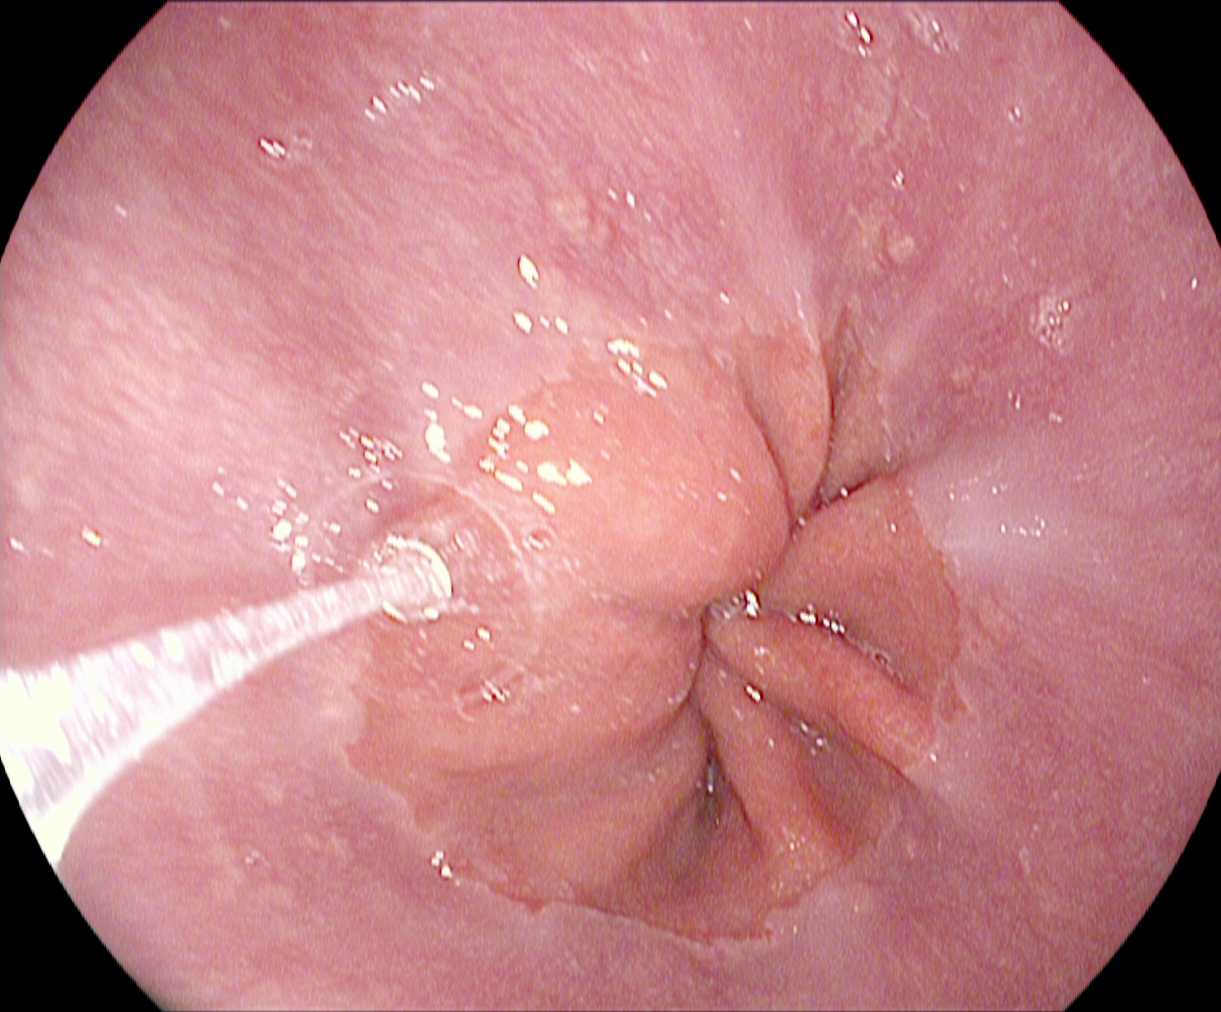modality: upper-GI endoscopy; finding: Z-line (gastroesophageal junction)